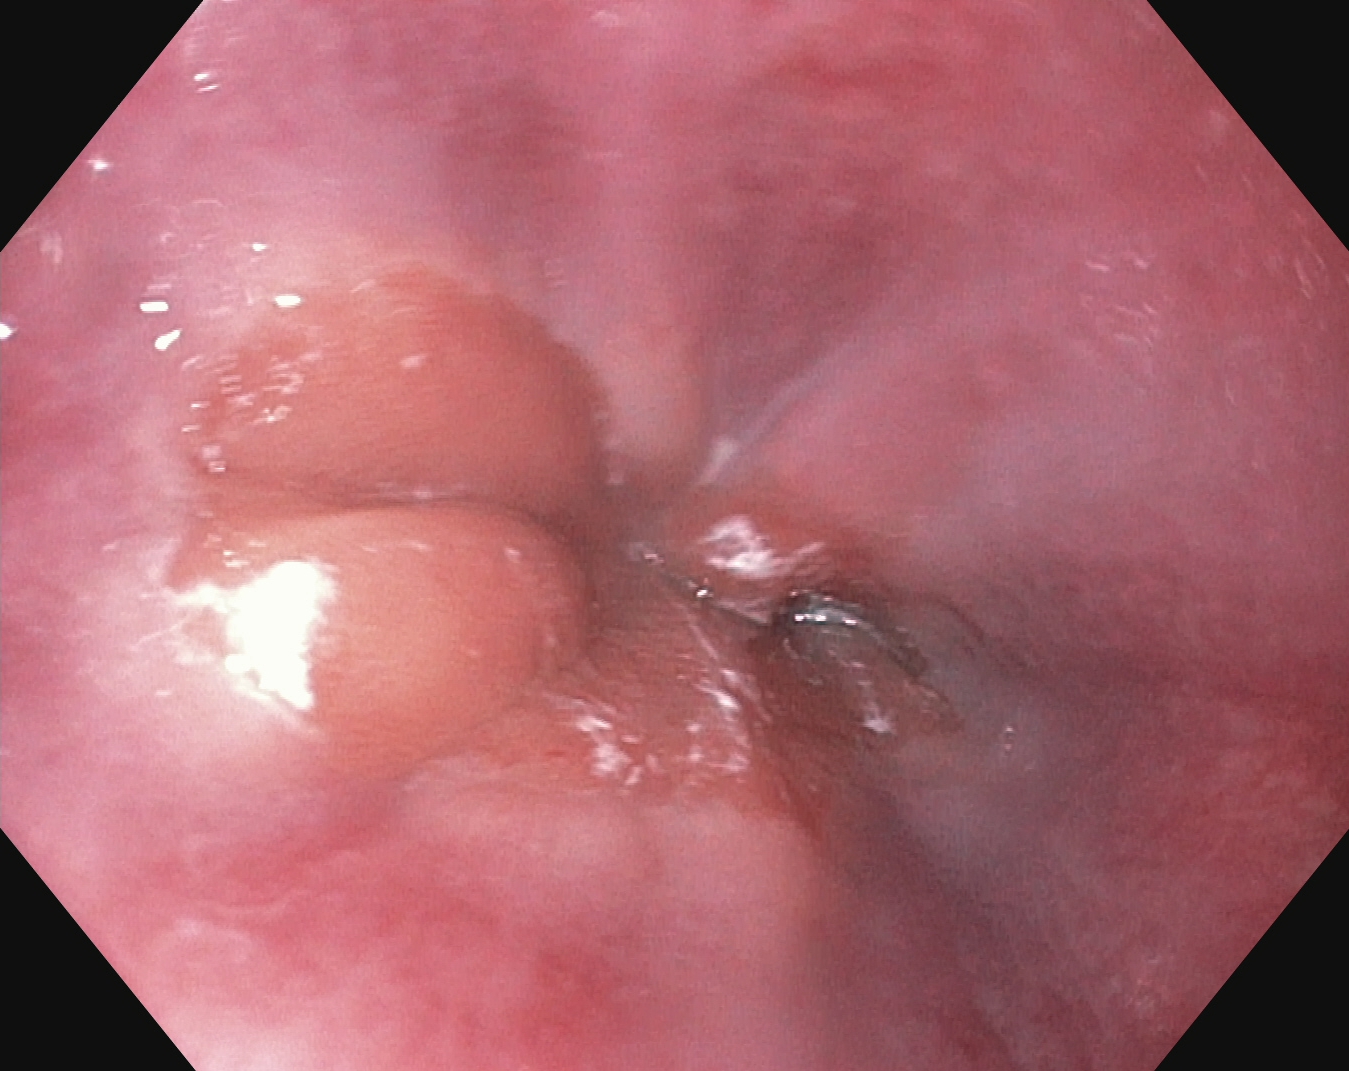{"modality": "esophagogastroduodenoscopy", "tract": "upper GI tract", "finding": "Z-line (gastroesophageal junction)"}